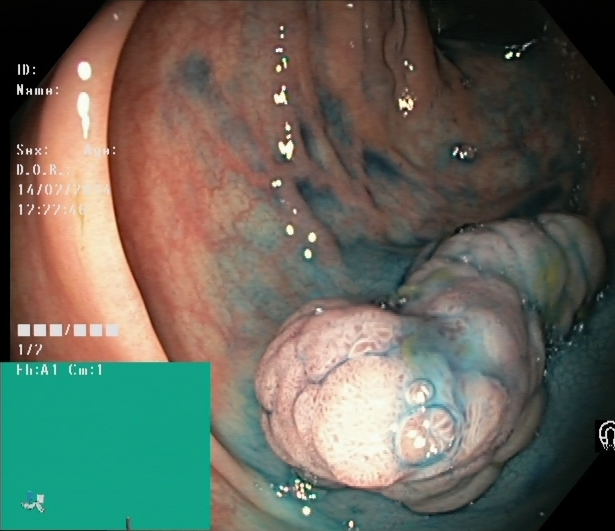{"modality": "lower-GI endoscopy", "tract": "lower GI tract", "category": "therapeutic intervention", "finding": "dyed and lifted polyp (pre-resection)"}